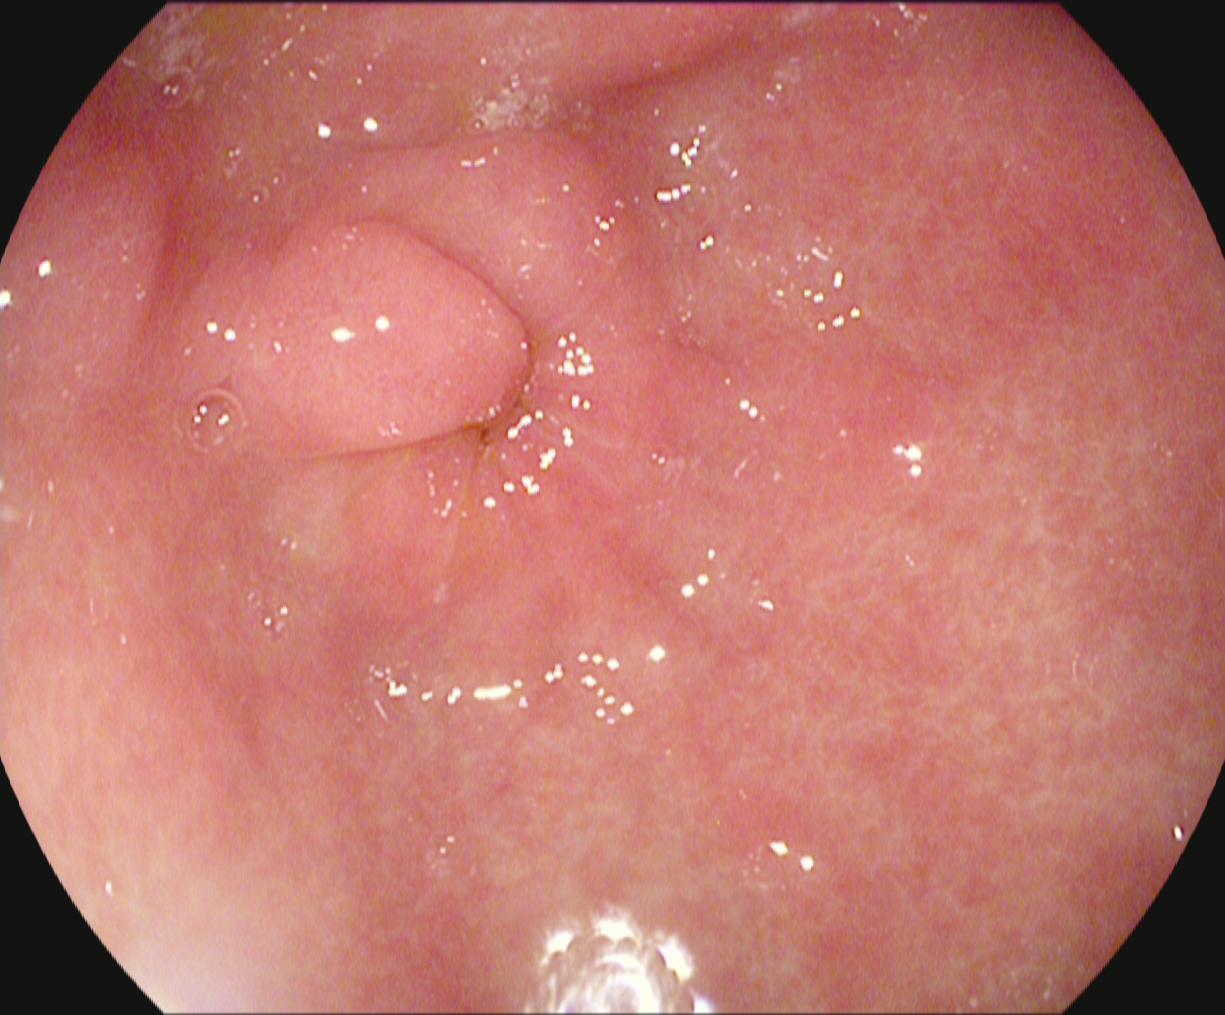Endoscopic frame of the upper GI tract showing pylorus.